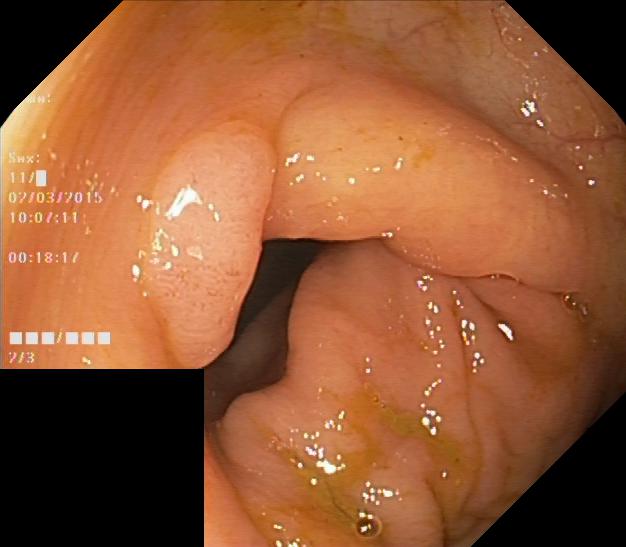modality: colonoscopy; finding: colorectal polyp(s)